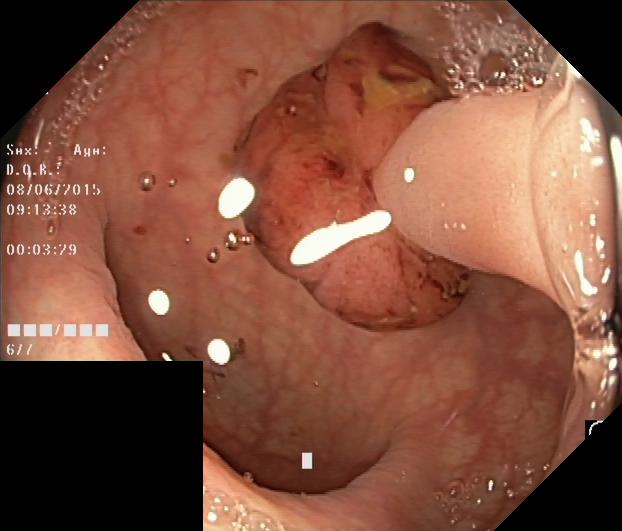PROCEDURE: Lower-GI endoscopy.
FINDINGS: Colorectal polyp(s).